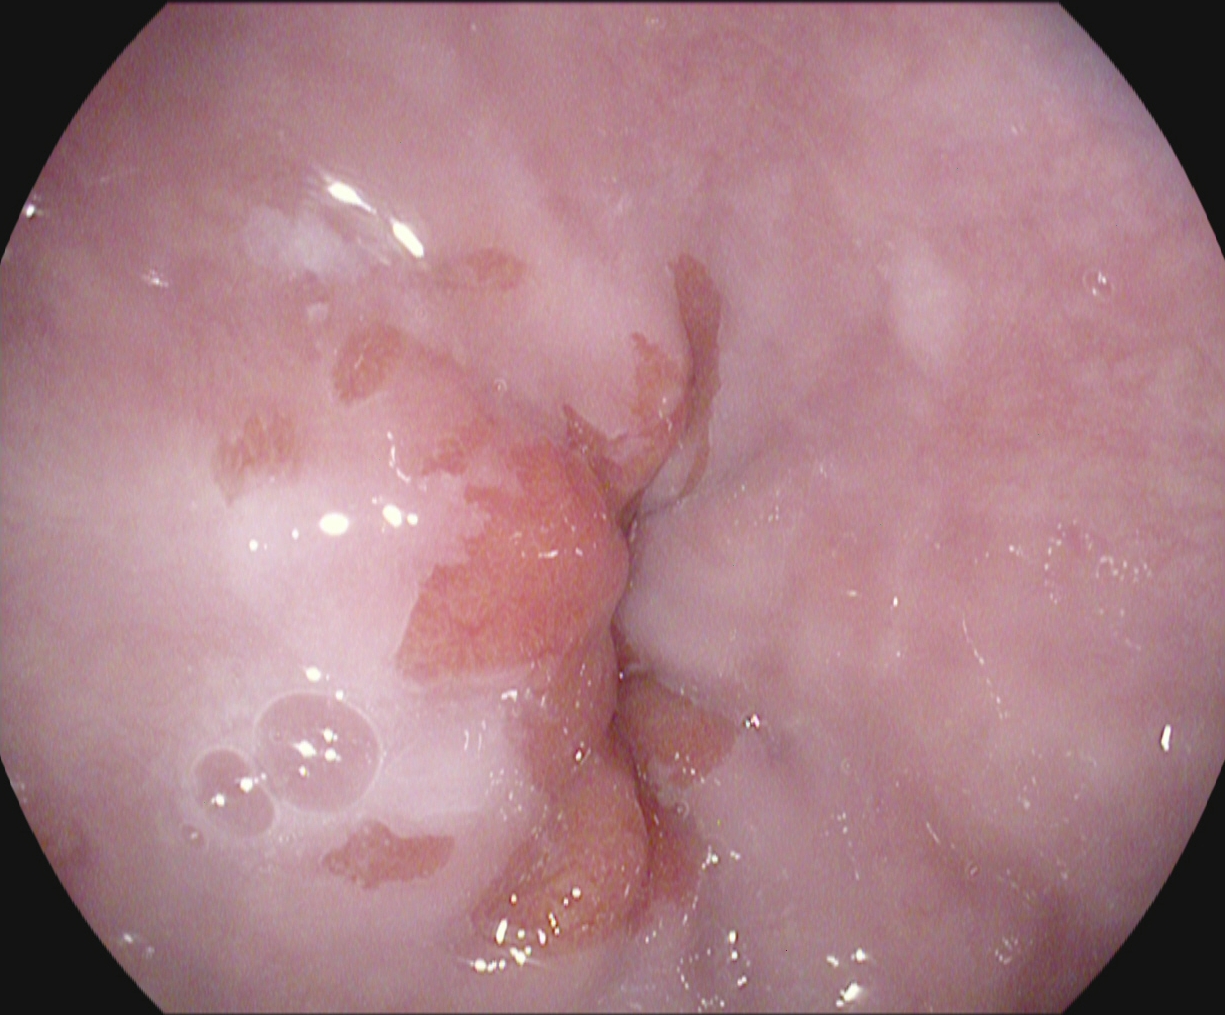Upper-GI endoscopy — Z-line (gastroesophageal junction).